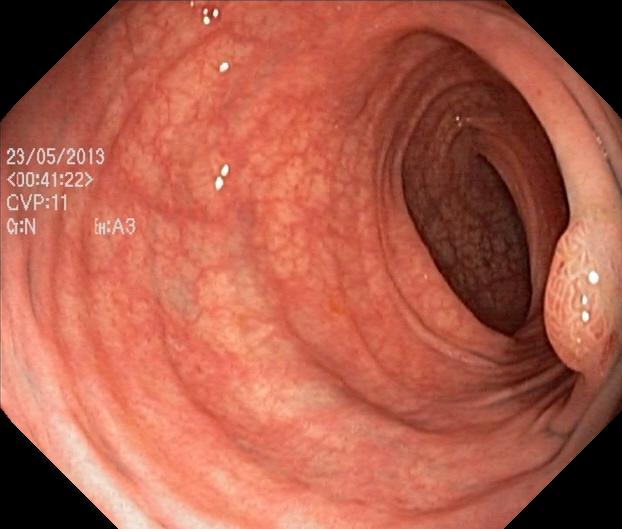{"modality": "colonoscopy", "finding": "colorectal polyp(s)"}